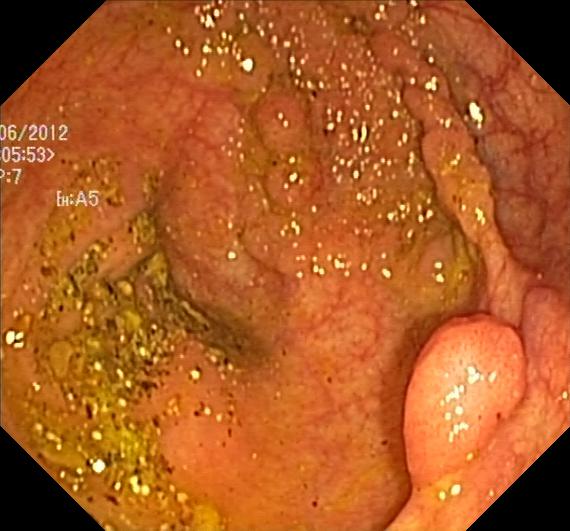Colonoscopy. Tract: lower GI tract. Finding: colorectal polyp(s).